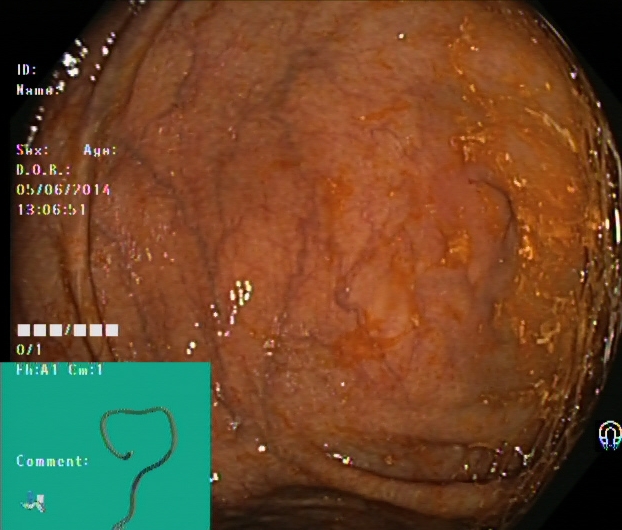Endoscopic frame of the lower GI tract showing cecum.